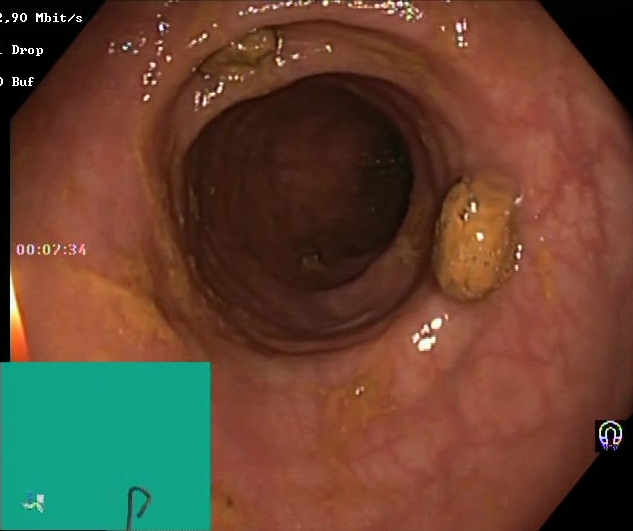This endoscopy frame of the lower GI tract shows impacted stool.